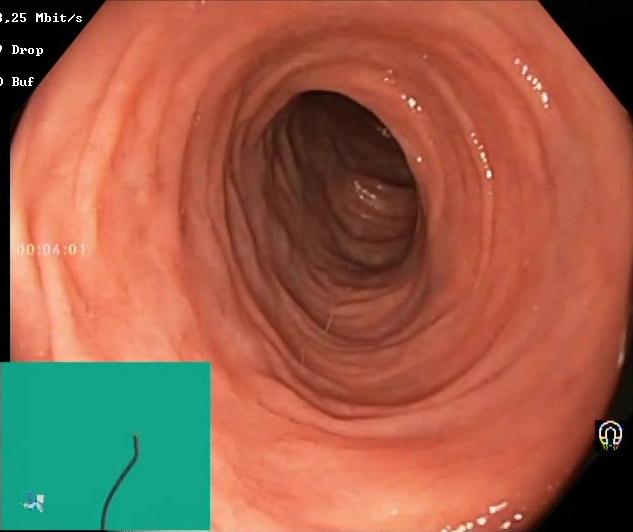modality: lower gastrointestinal endoscopy
finding: Boston Bowel Preparation Scale score 2–3 (adequate preparation)